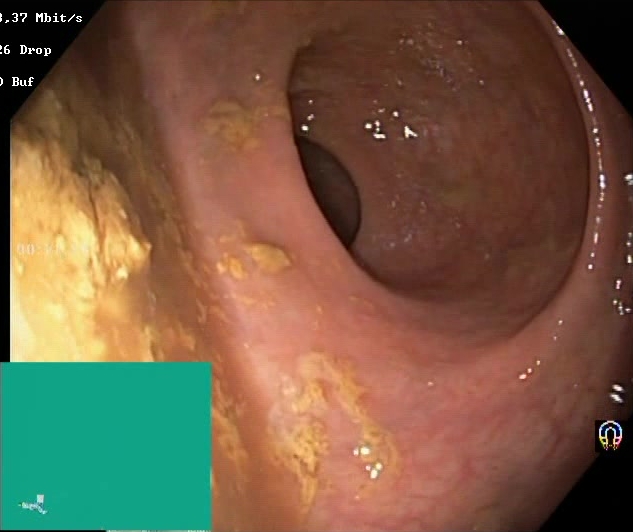{"modality": "lower-GI endoscopy", "tract": "lower GI tract", "finding": "Boston Bowel Preparation Scale score 0\u20131 (inadequate preparation)"}